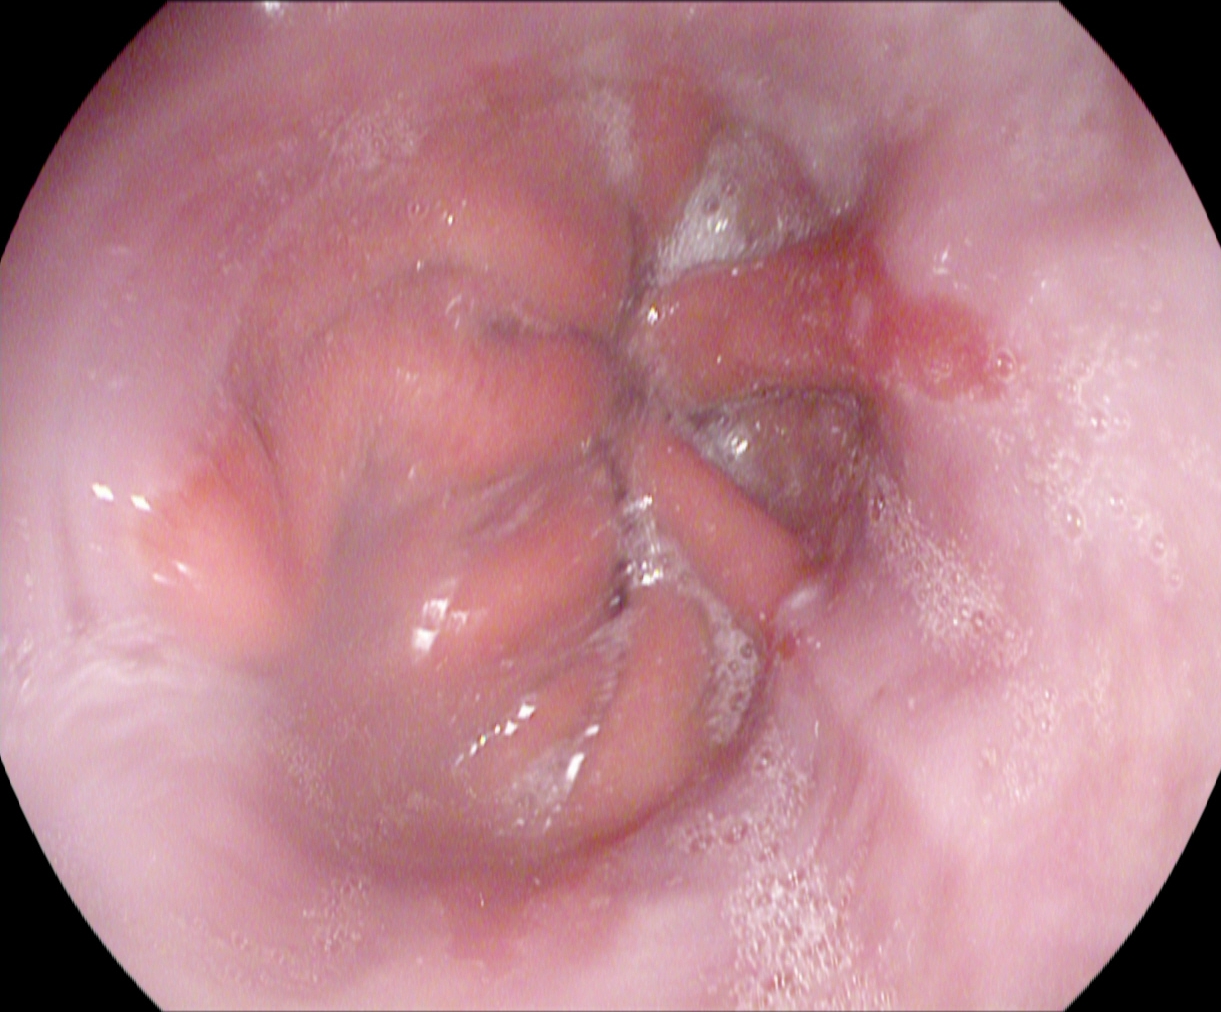PROCEDURE: Gastroscopy.
FINDINGS: Reflux esophagitis, Los Angeles grade A.